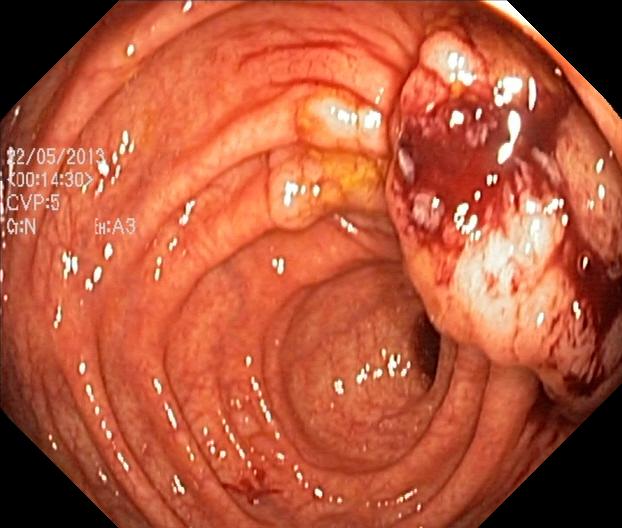PROCEDURE: Lower-GI endoscopy.
FINDINGS: Colorectal polyp(s).